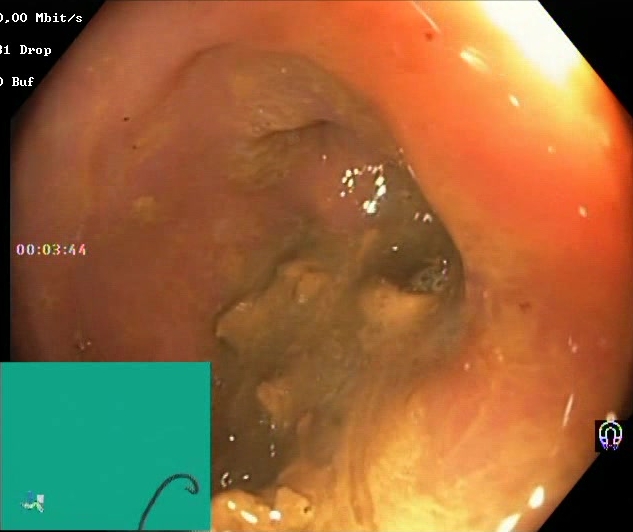PROCEDURE: Colonoscopy.
CATEGORY: Mucosal-view quality.
FINDINGS: Boston Bowel Preparation Scale score 0–1 (inadequate preparation).